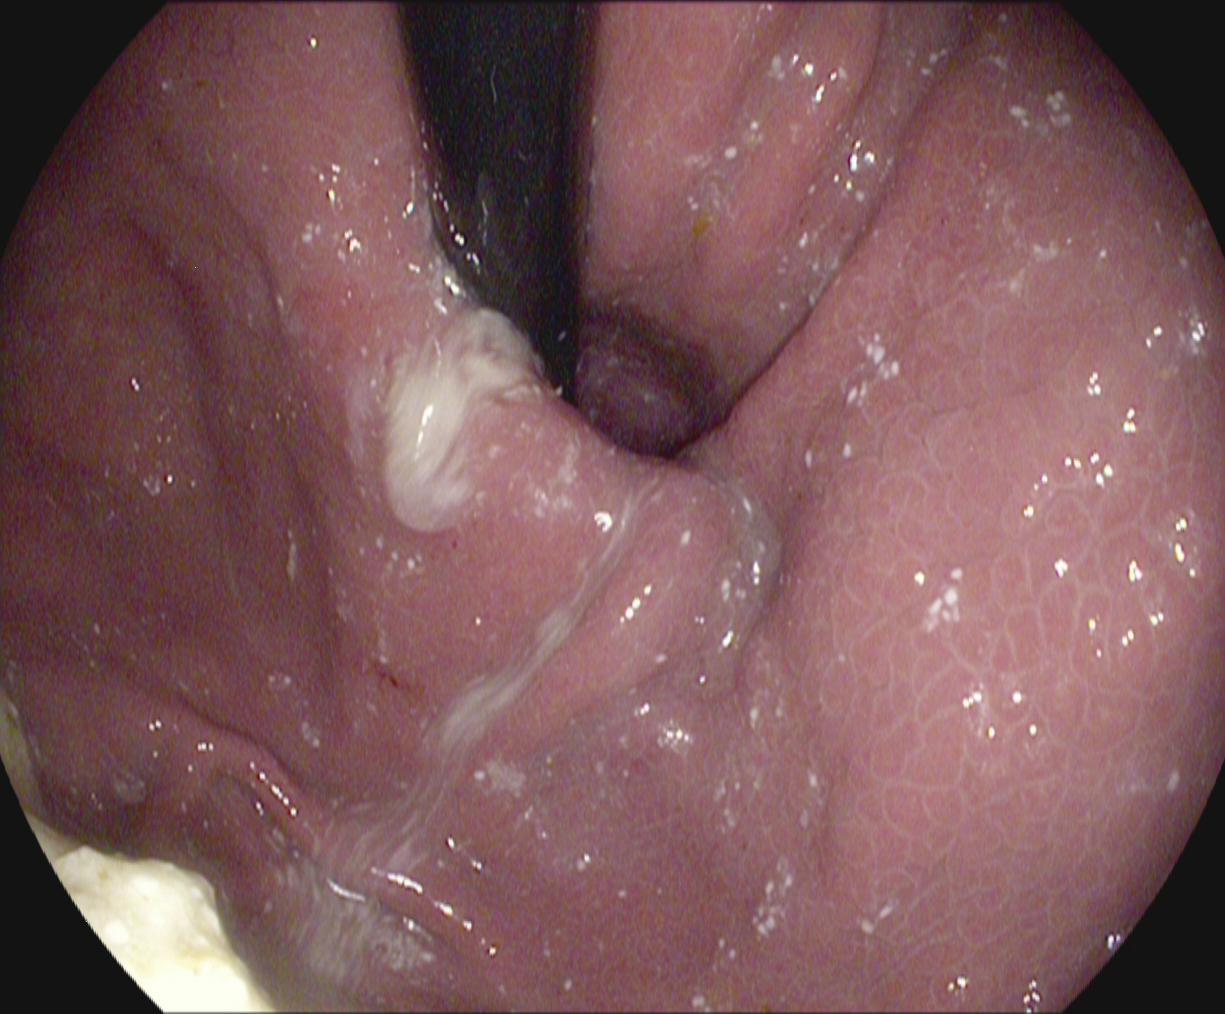PROCEDURE: Upper-GI endoscopy.
FINDINGS: Stomach in retroflexion.